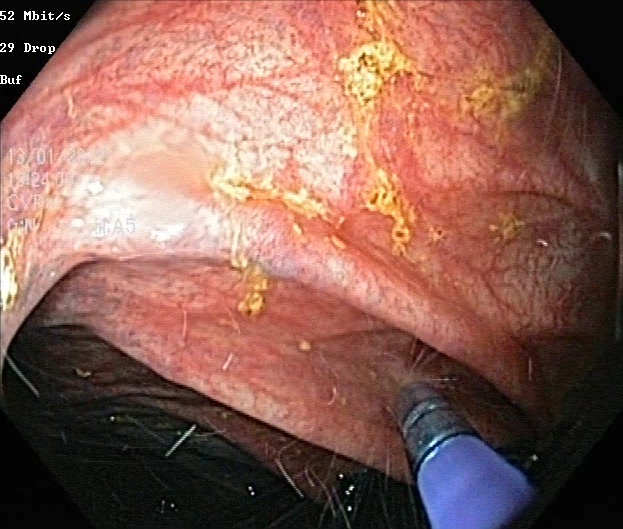Lower-GI endoscopy image showing ulcerative colitis, Mayo endoscopic subscore 0–1.